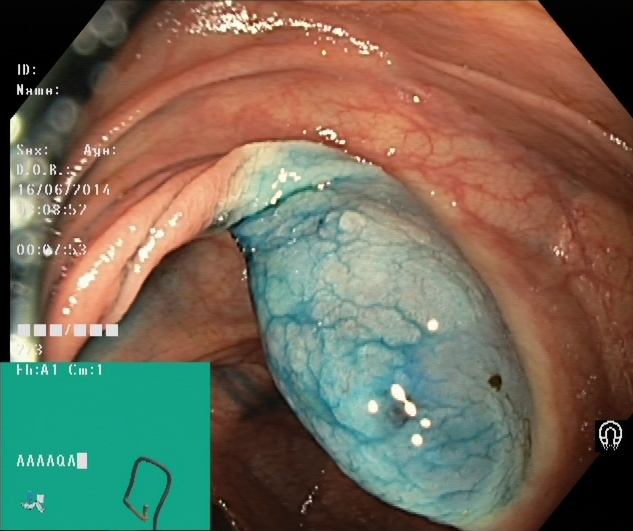modality: lower-GI endoscopy; tract: lower GI tract; category: therapeutic intervention; finding: dyed and lifted polyp (pre-resection)